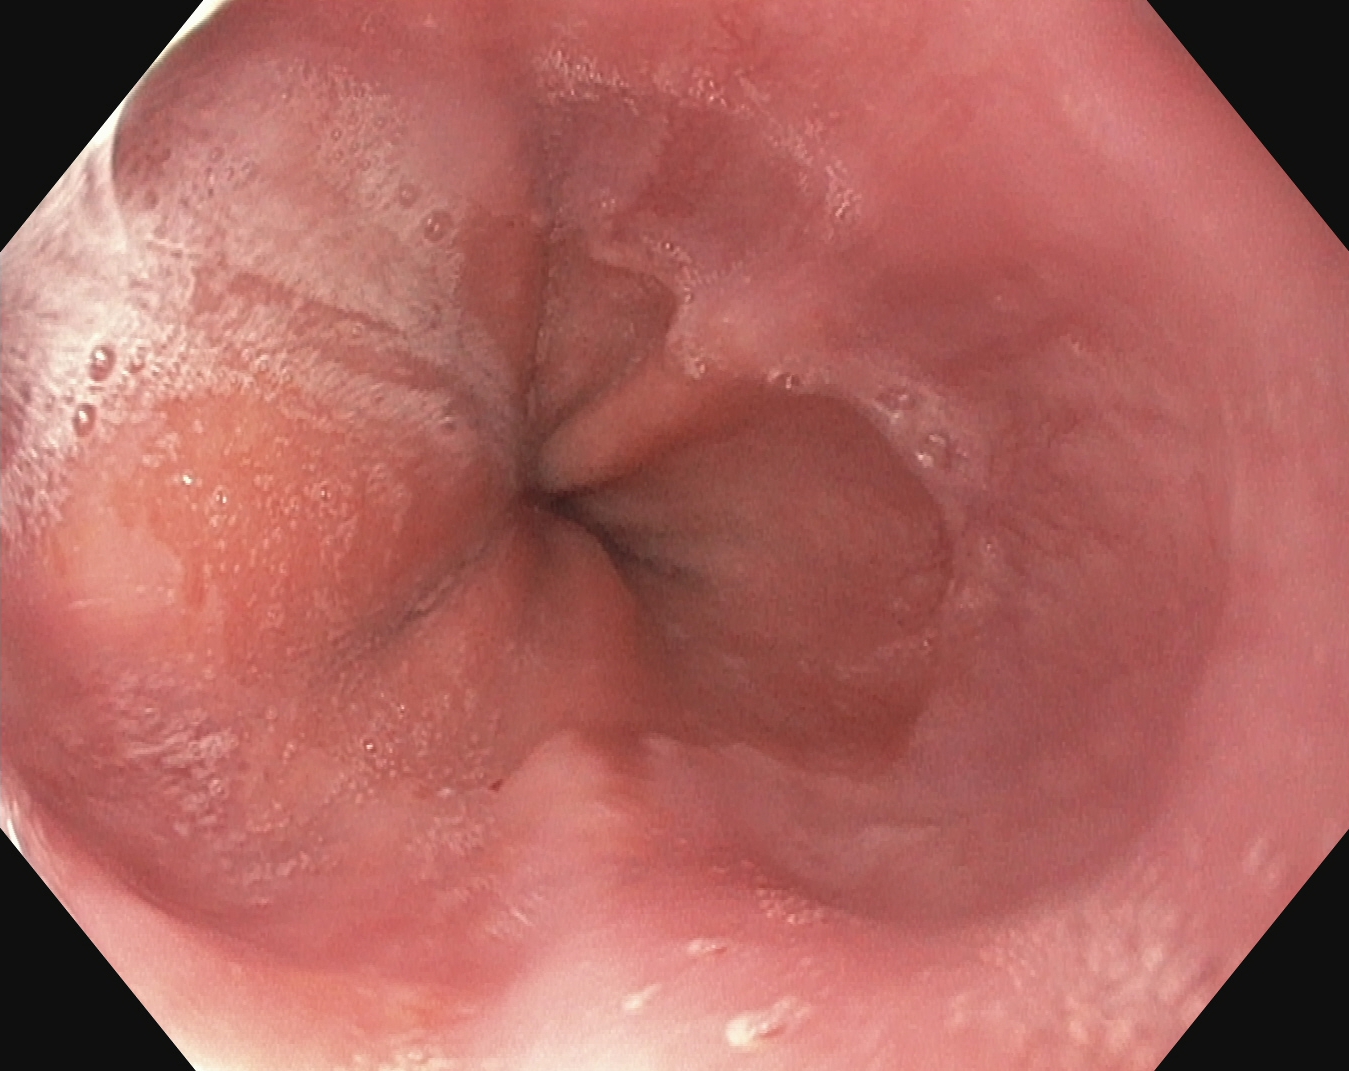PROCEDURE: Esophagogastroduodenoscopy.
CATEGORY: Anatomical landmark.
FINDINGS: Z-line (gastroesophageal junction).